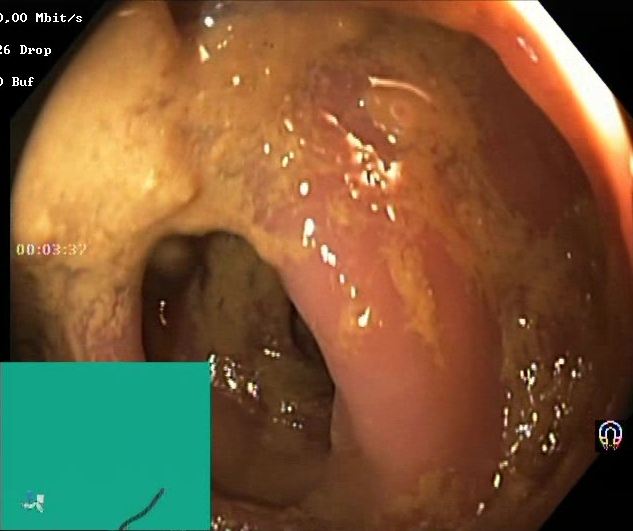modality: colonoscopy | finding: Boston Bowel Preparation Scale score 0–1 (inadequate preparation)